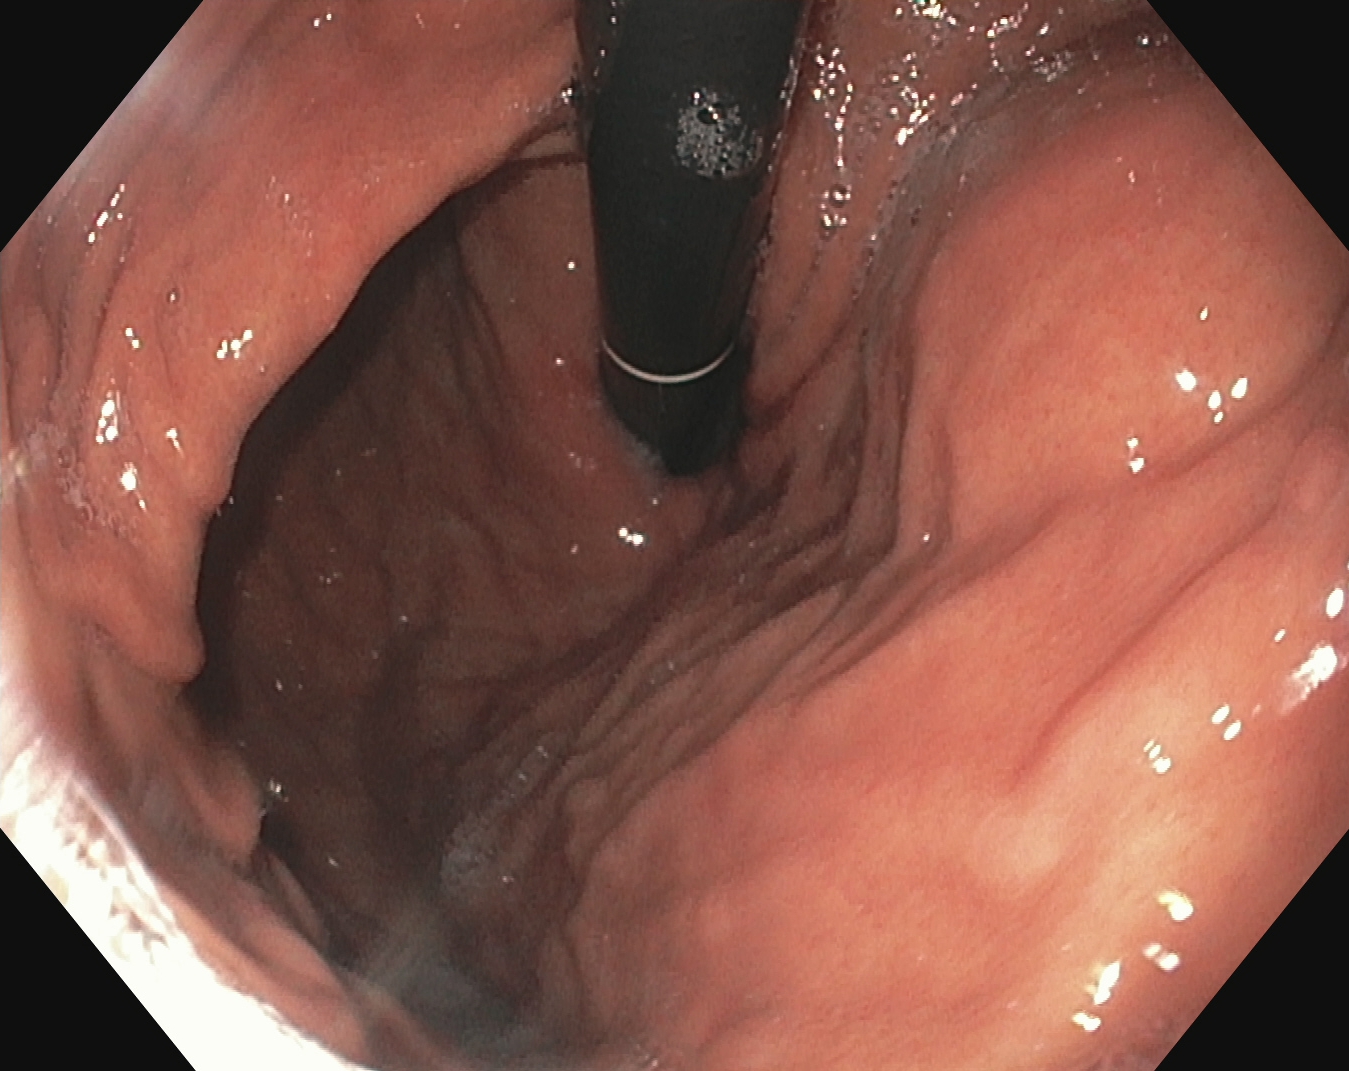{"modality": "EGD", "tract": "upper GI tract", "finding": "stomach in retroflexion"}